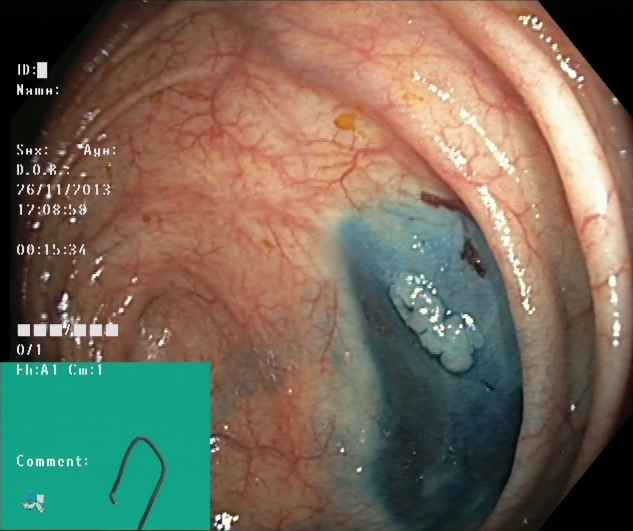Colonoscopy — dyed and lifted polyp (pre-resection).